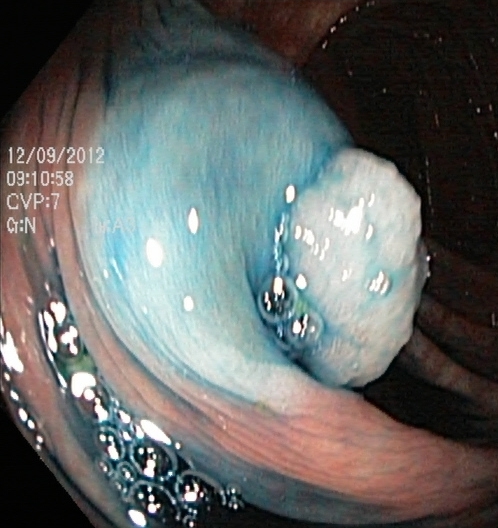{"modality": "lower-GI endoscopy", "category": "therapeutic intervention", "finding": "dyed and lifted polyp (pre-resection)"}